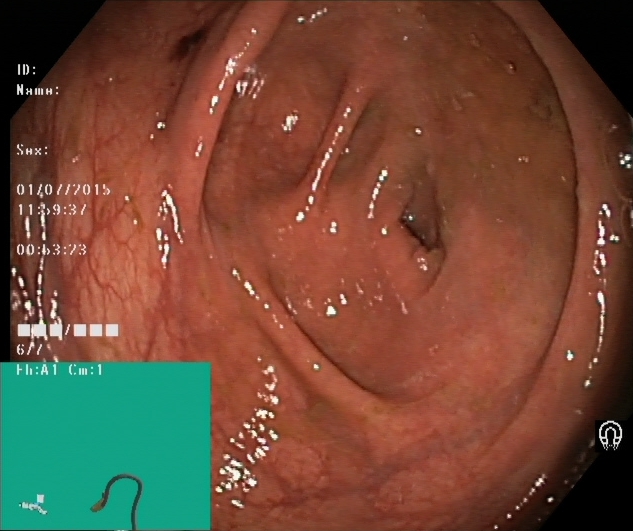cecum.